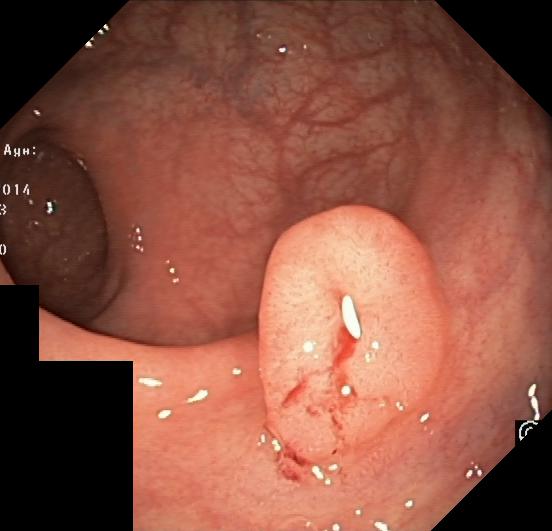modality: colonoscopy | tract: lower GI tract | finding: colorectal polyp(s)